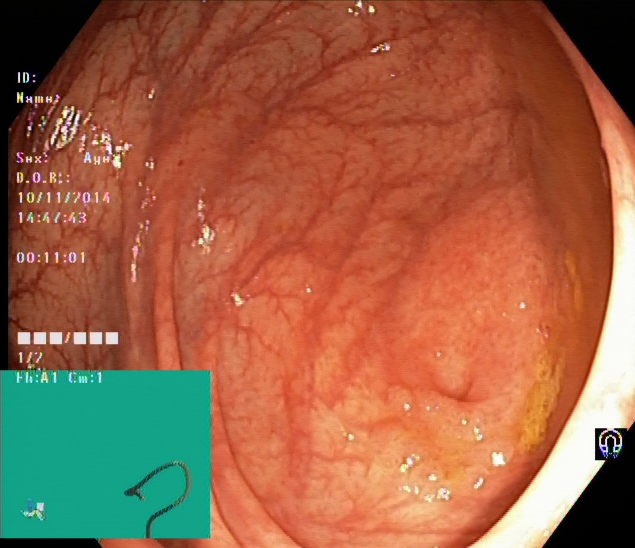This endoscopy frame of the lower GI tract shows cecum.